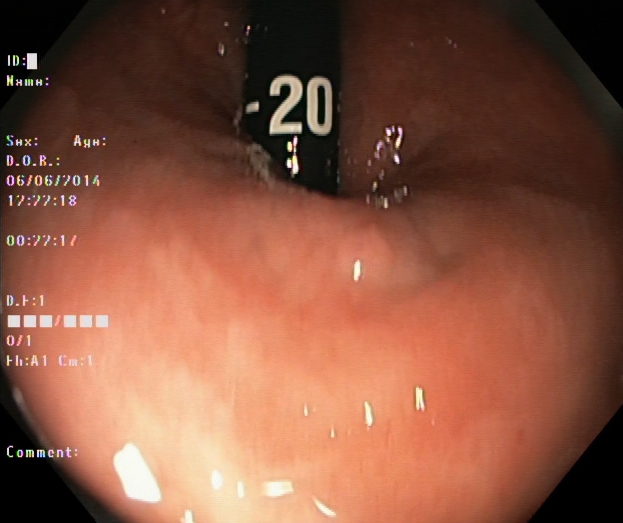Endoscopic frame showing rectum in retroflexion.